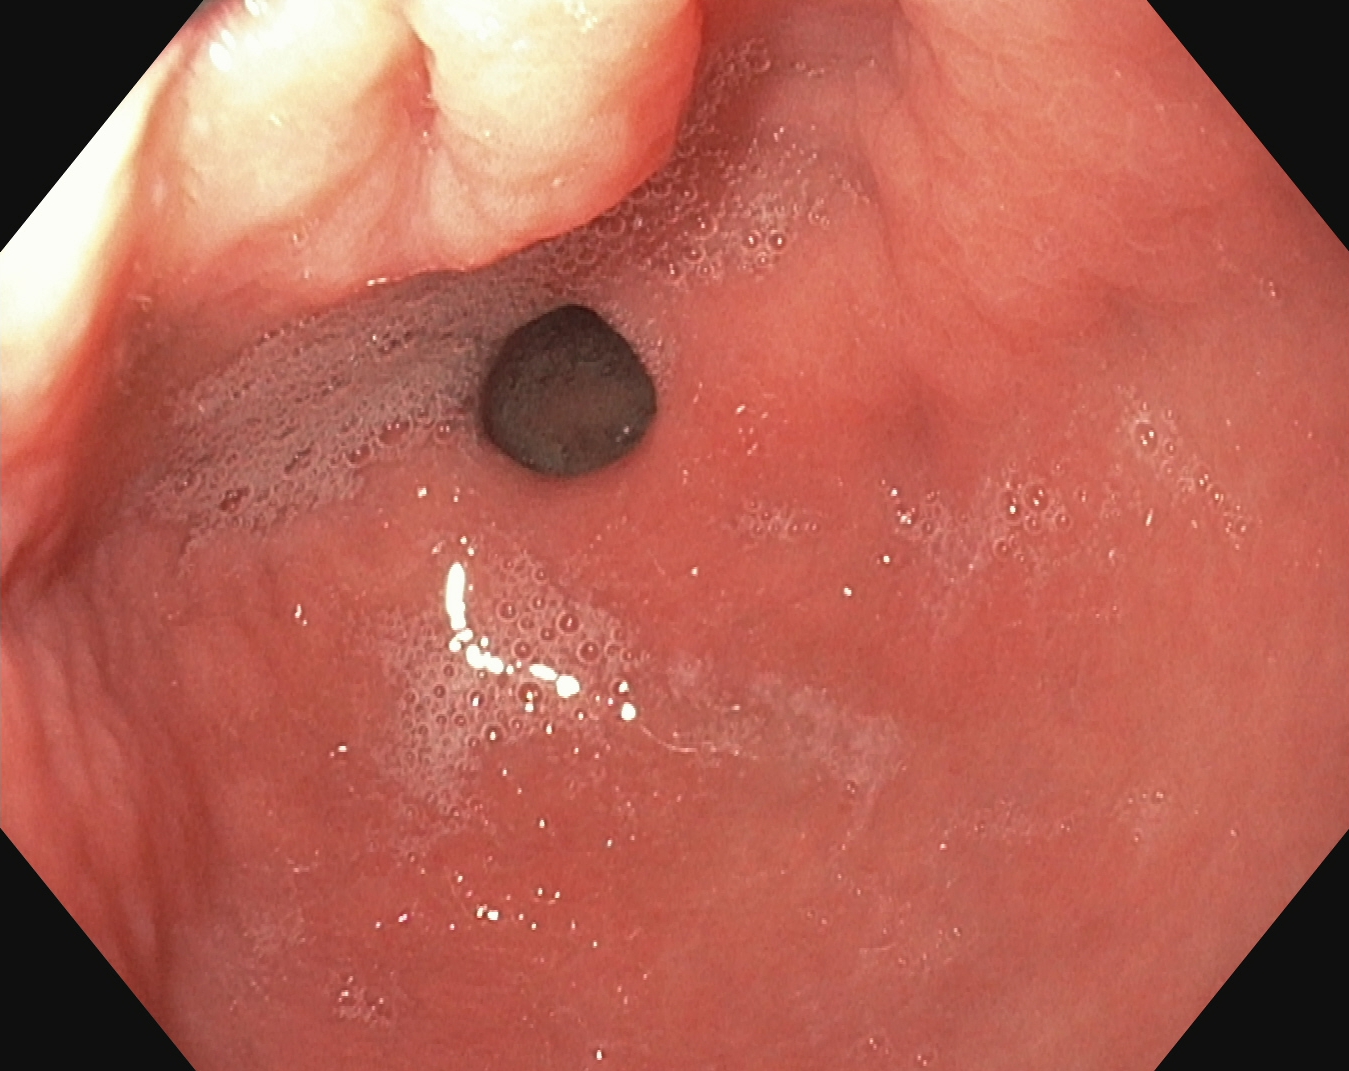{"modality": "gastroscopy", "tract": "upper GI tract", "finding": "pylorus"}